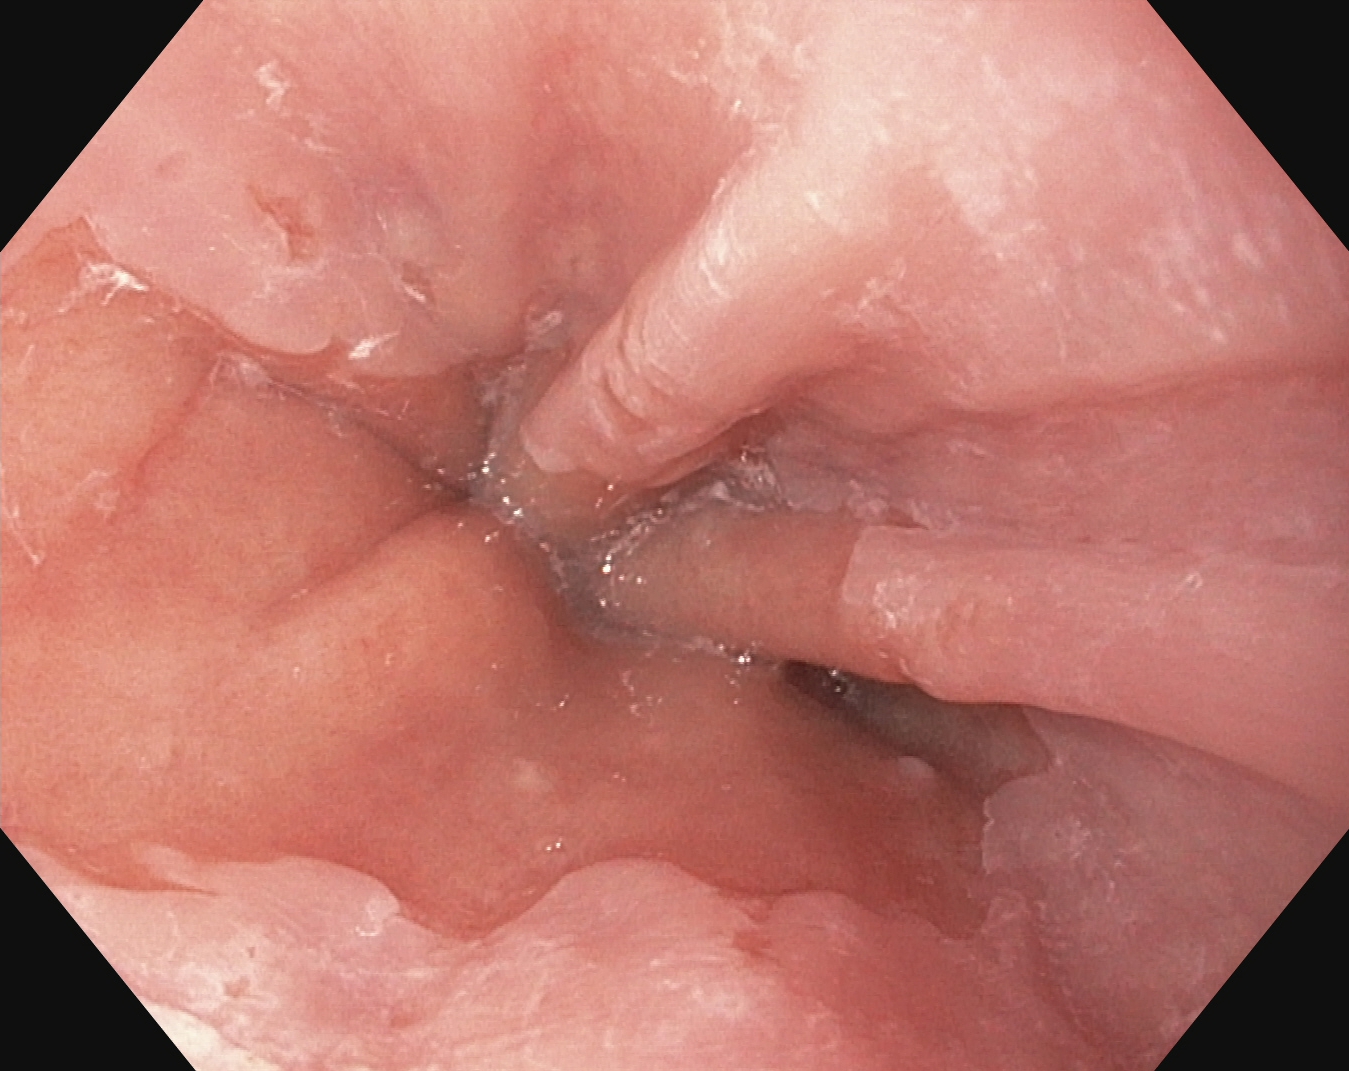PROCEDURE: Upper-GI endoscopy.
FINDINGS: Z-line (gastroesophageal junction).